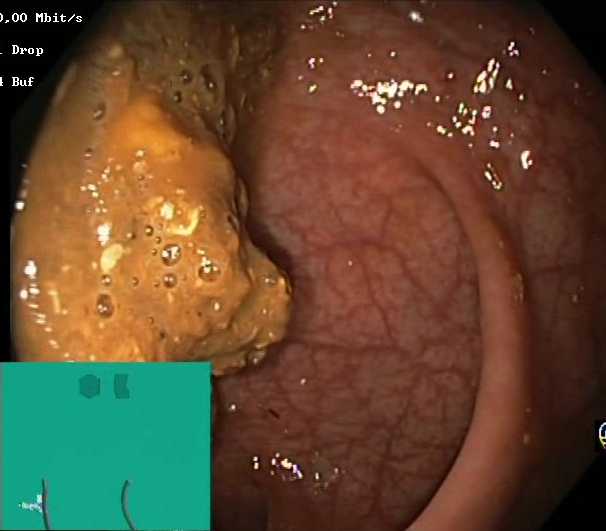Colonoscopy. Mucosal-view quality. Finding: BBPS score 0–1 (inadequate preparation).